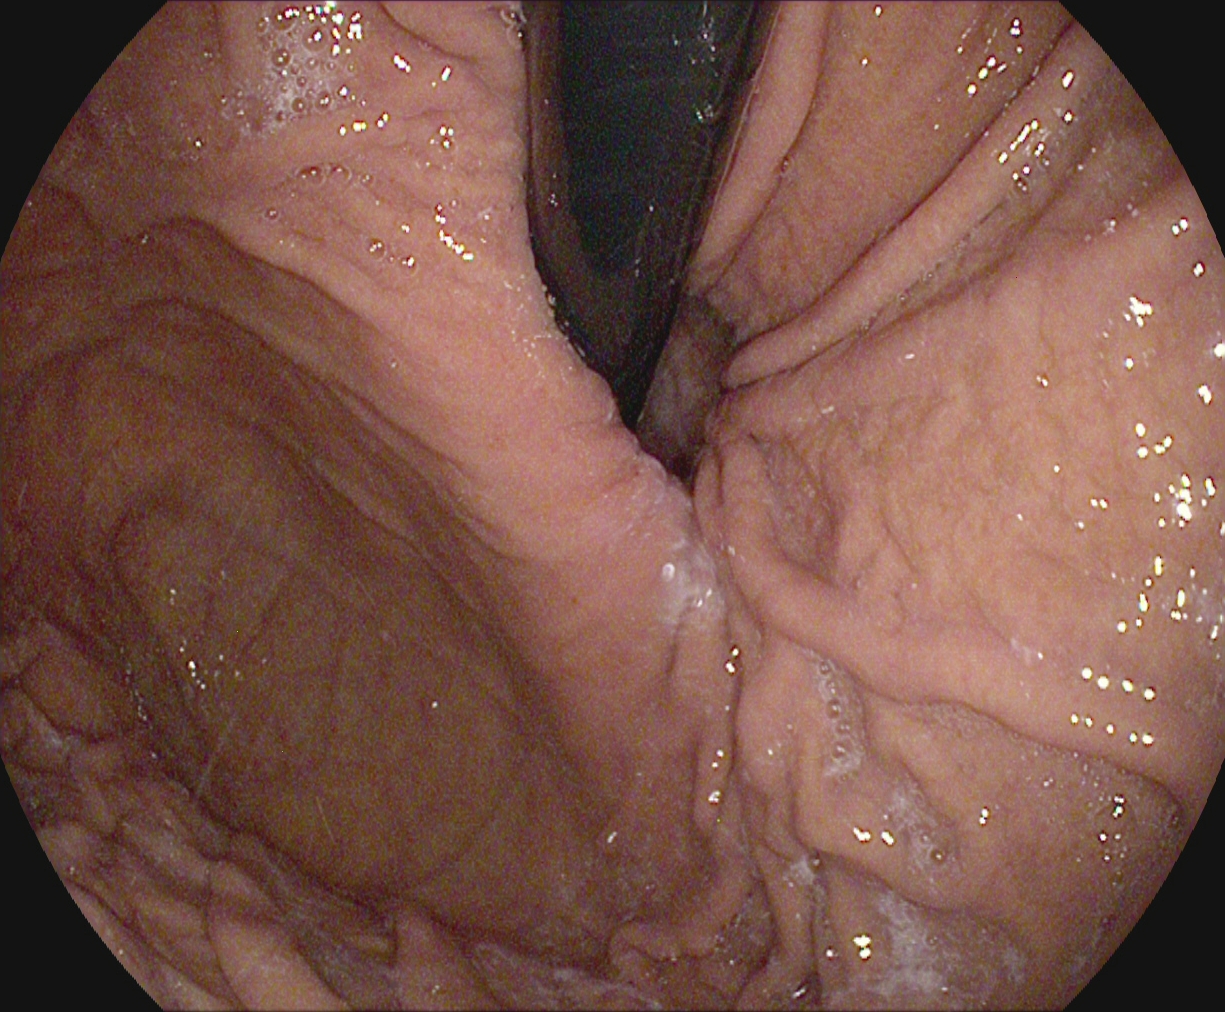modality: upper-GI endoscopy | tract: upper GI tract | category: anatomical landmark | finding: stomach in retroflexion